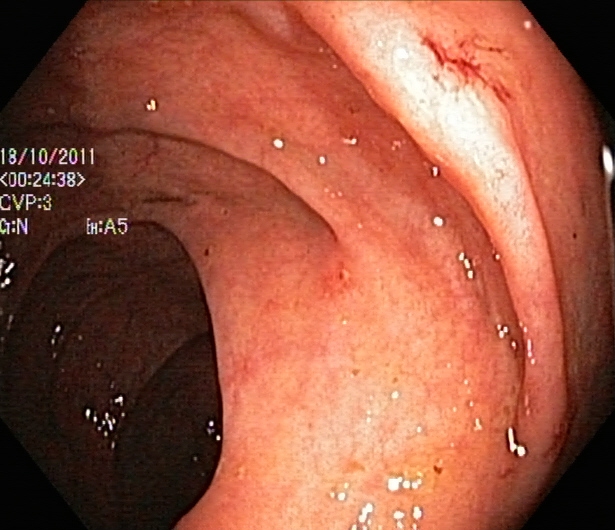PROCEDURE: Lower-GI endoscopy.
CATEGORY: Pathological finding.
FINDINGS: Ulcerative colitis, Mayo endoscopic subscore 1.